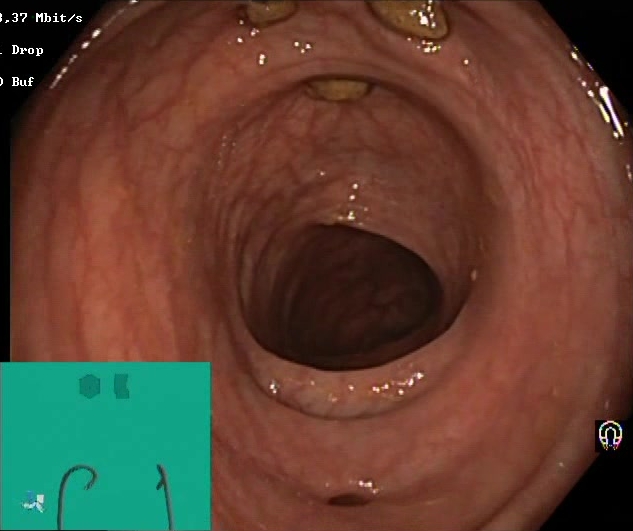Lower gastrointestinal endoscopy. Tract: lower GI tract. Finding: impacted stool.